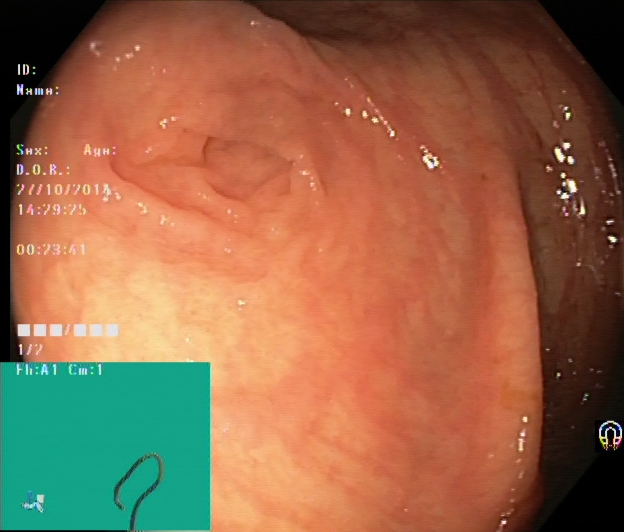PROCEDURE: Lower gastrointestinal endoscopy.
FINDINGS: Cecum.